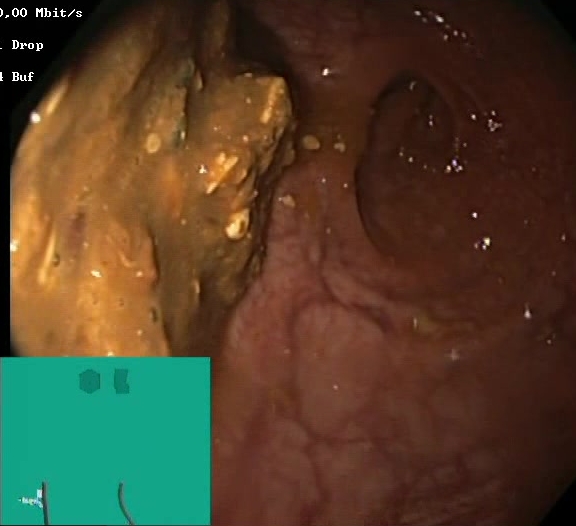modality: lower-GI endoscopy | tract: lower GI tract | finding: Boston Bowel Preparation Scale score 0–1 (inadequate preparation)